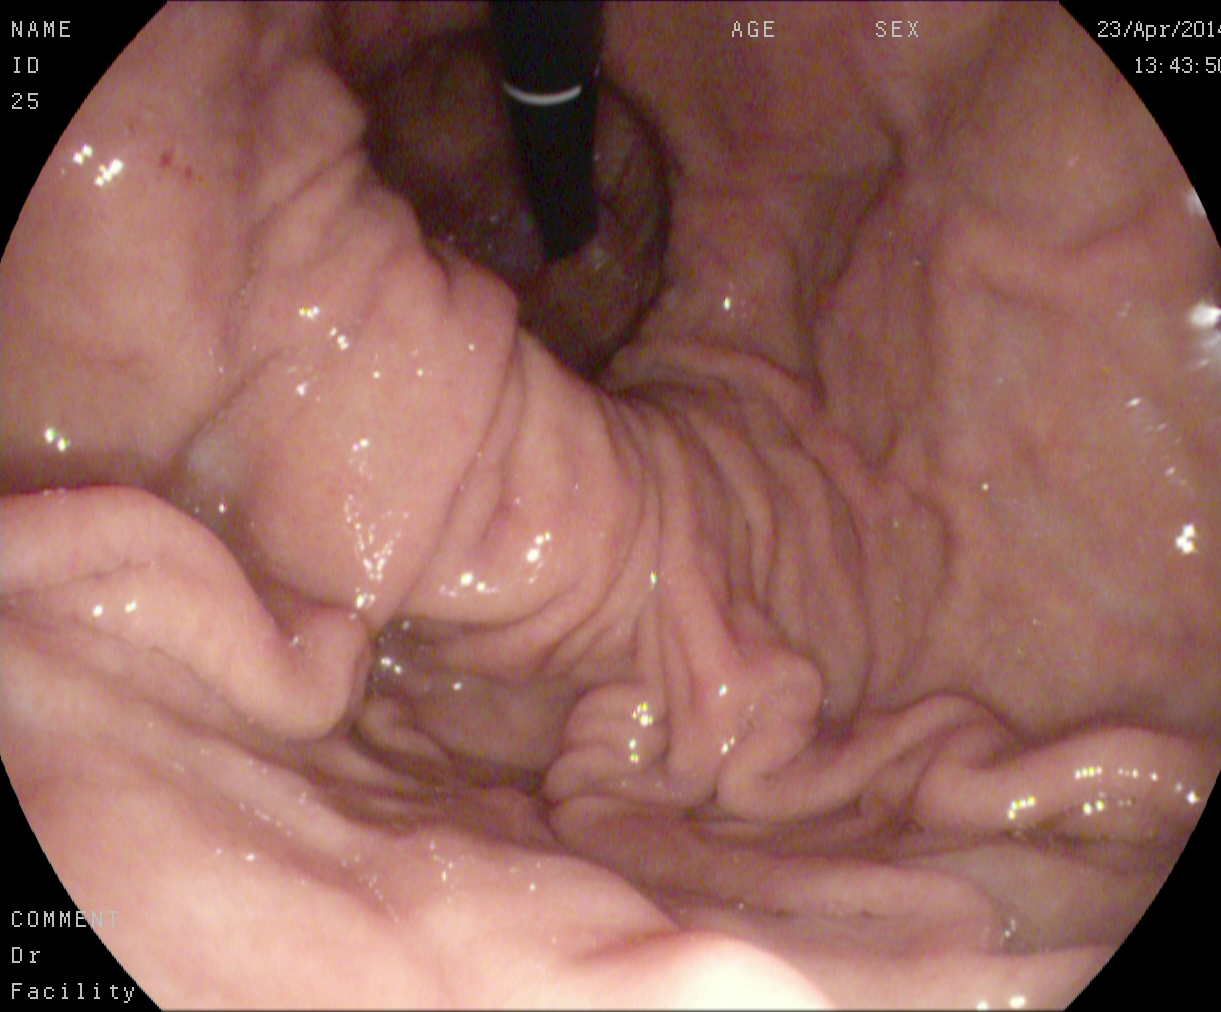PROCEDURE: Upper-GI endoscopy.
FINDINGS: Stomach in retroflexion.